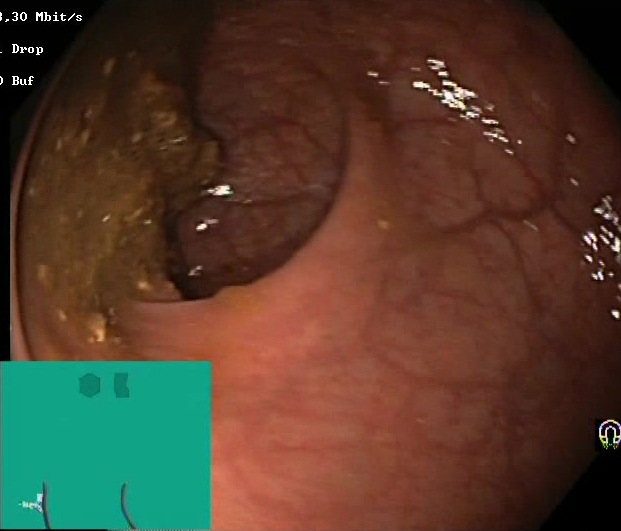Lower-GI endoscopy — Boston Bowel Preparation Scale score 0–1 (inadequate preparation).